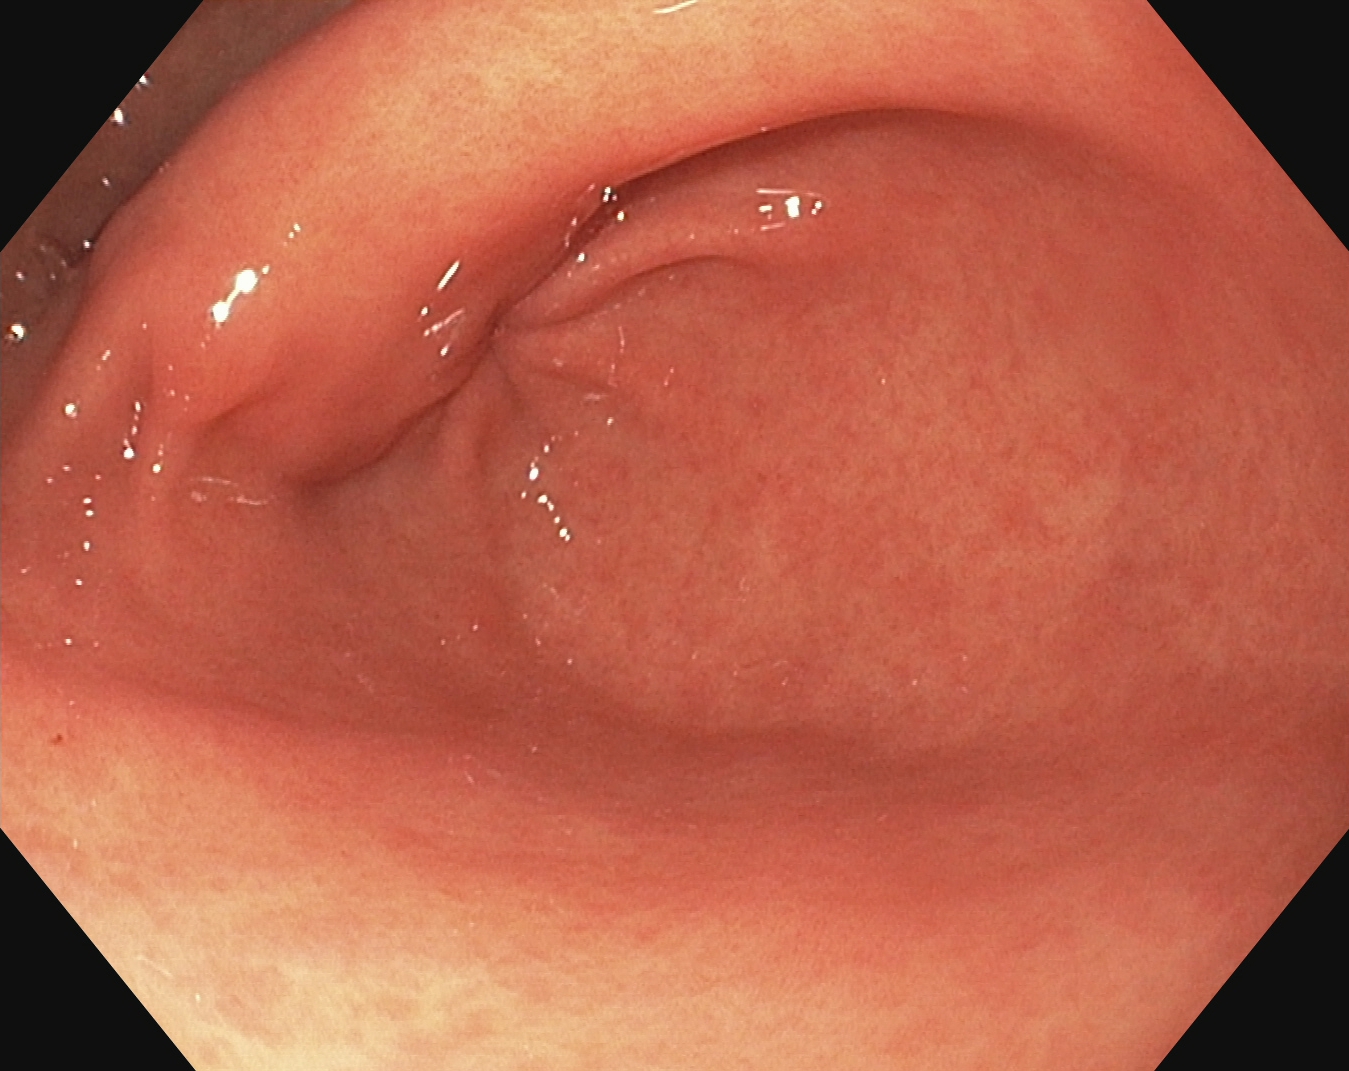This endoscopy frame shows pylorus.